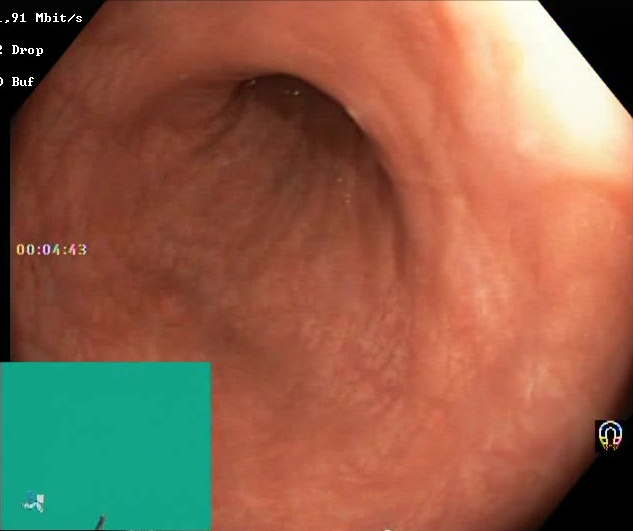Boston Bowel Preparation Scale score 2–3 (adequate preparation).